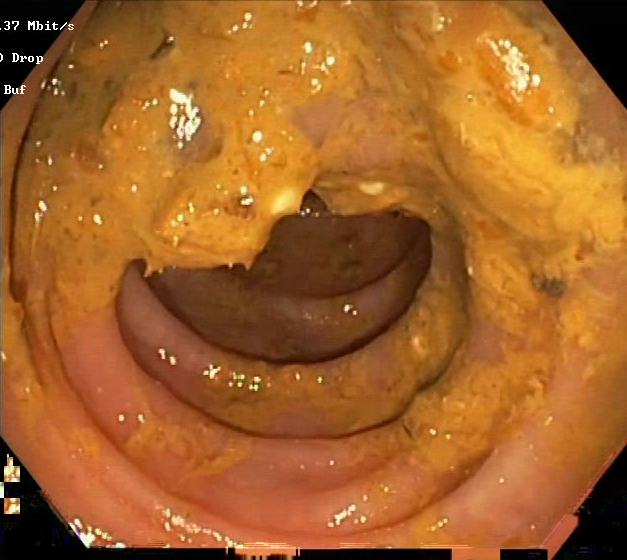PROCEDURE: Colonoscopy.
CATEGORY: Mucosal-view quality.
FINDINGS: Boston Bowel Preparation Scale score 0–1 (inadequate preparation).